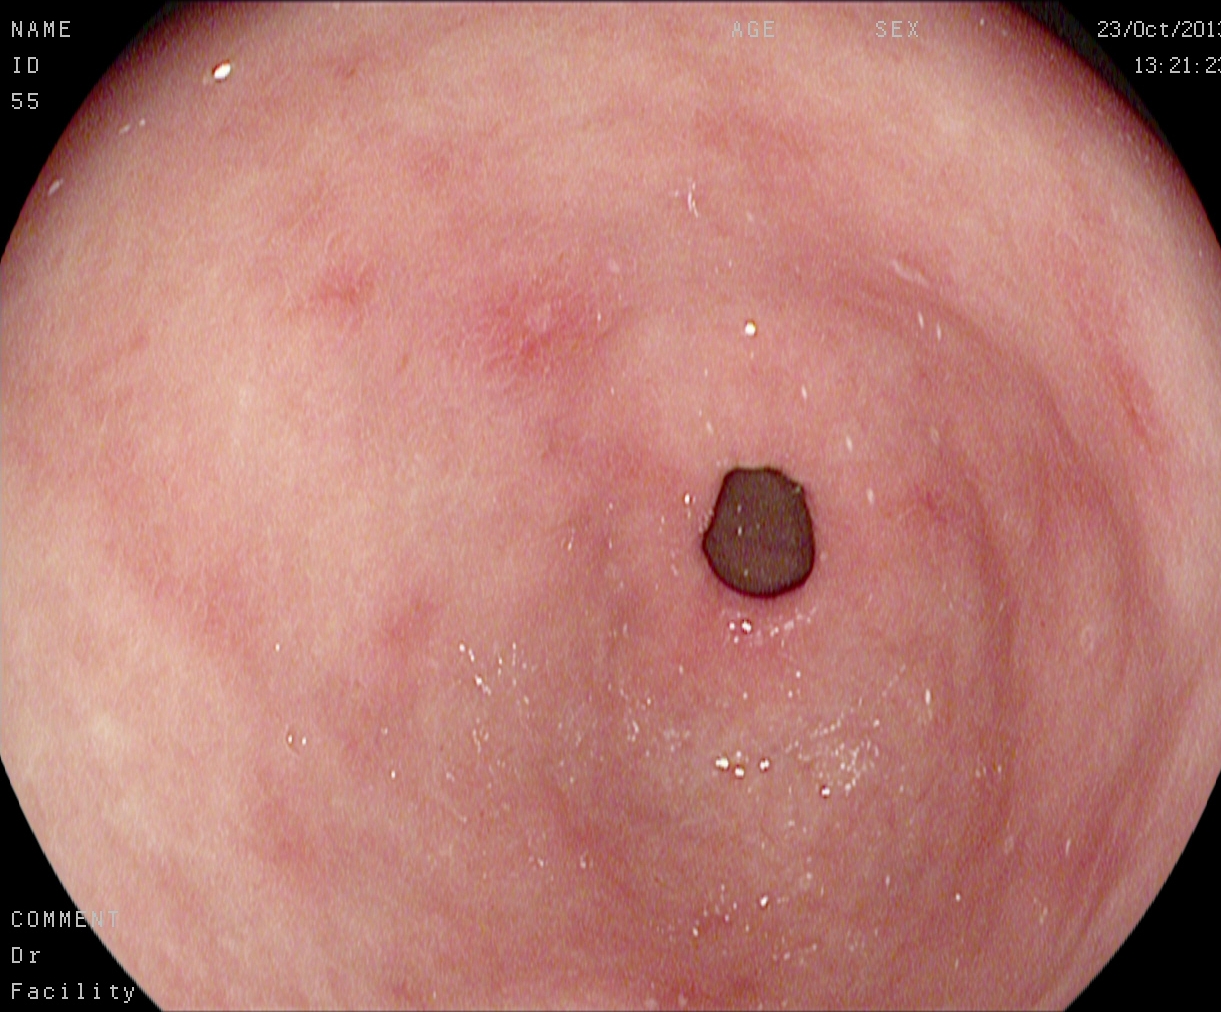EGD — pylorus.